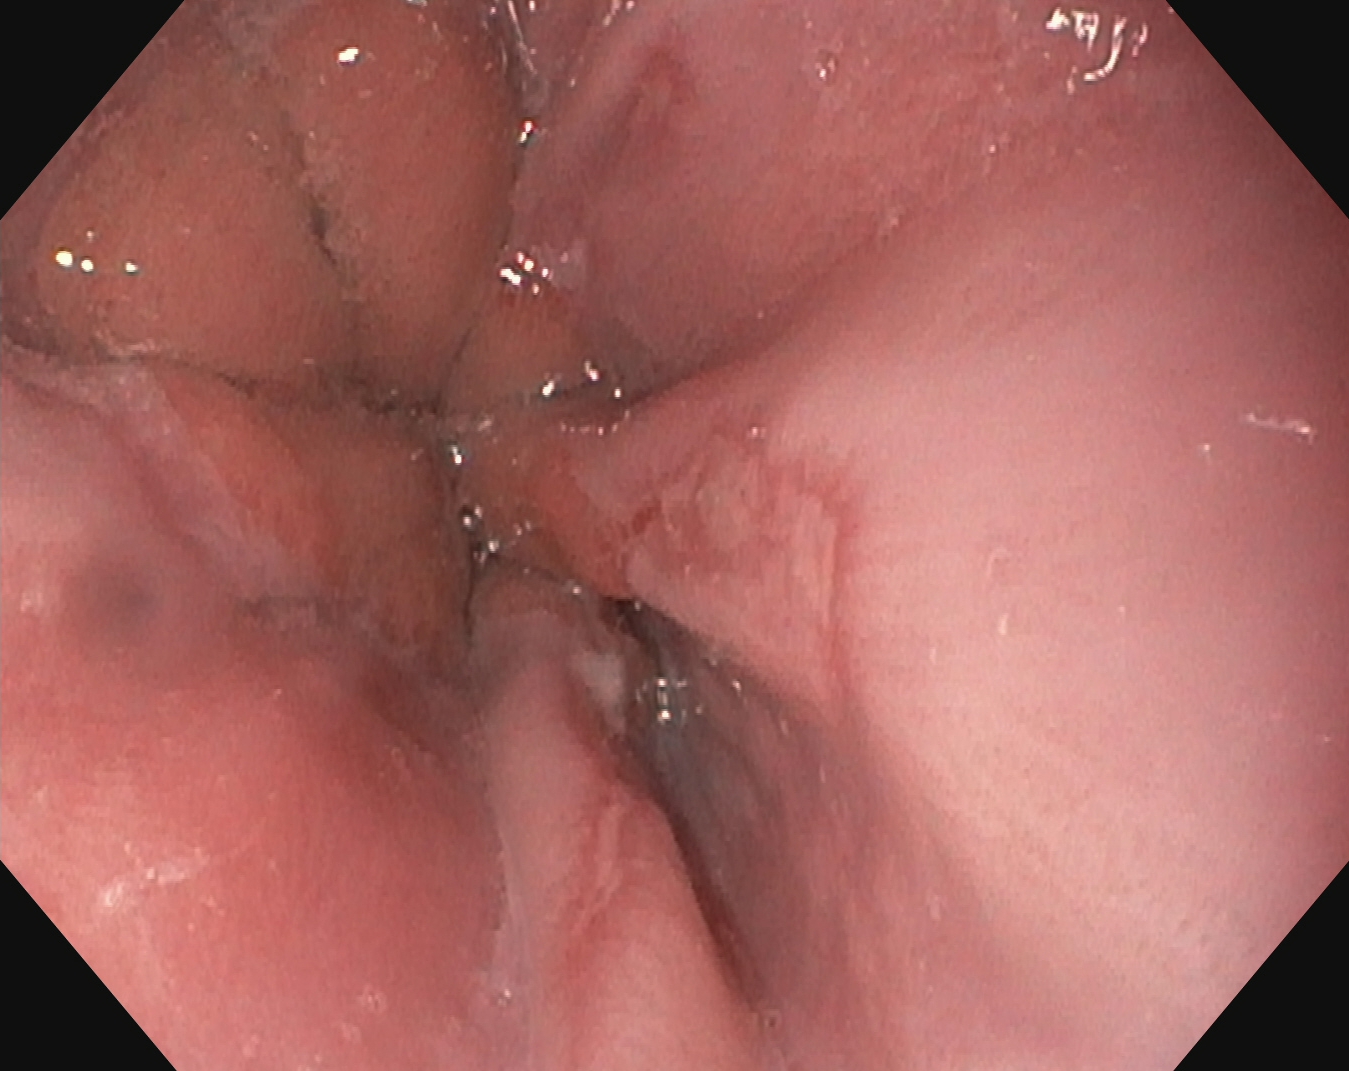This endoscopy frame shows reflux esophagitis, LA grade A.